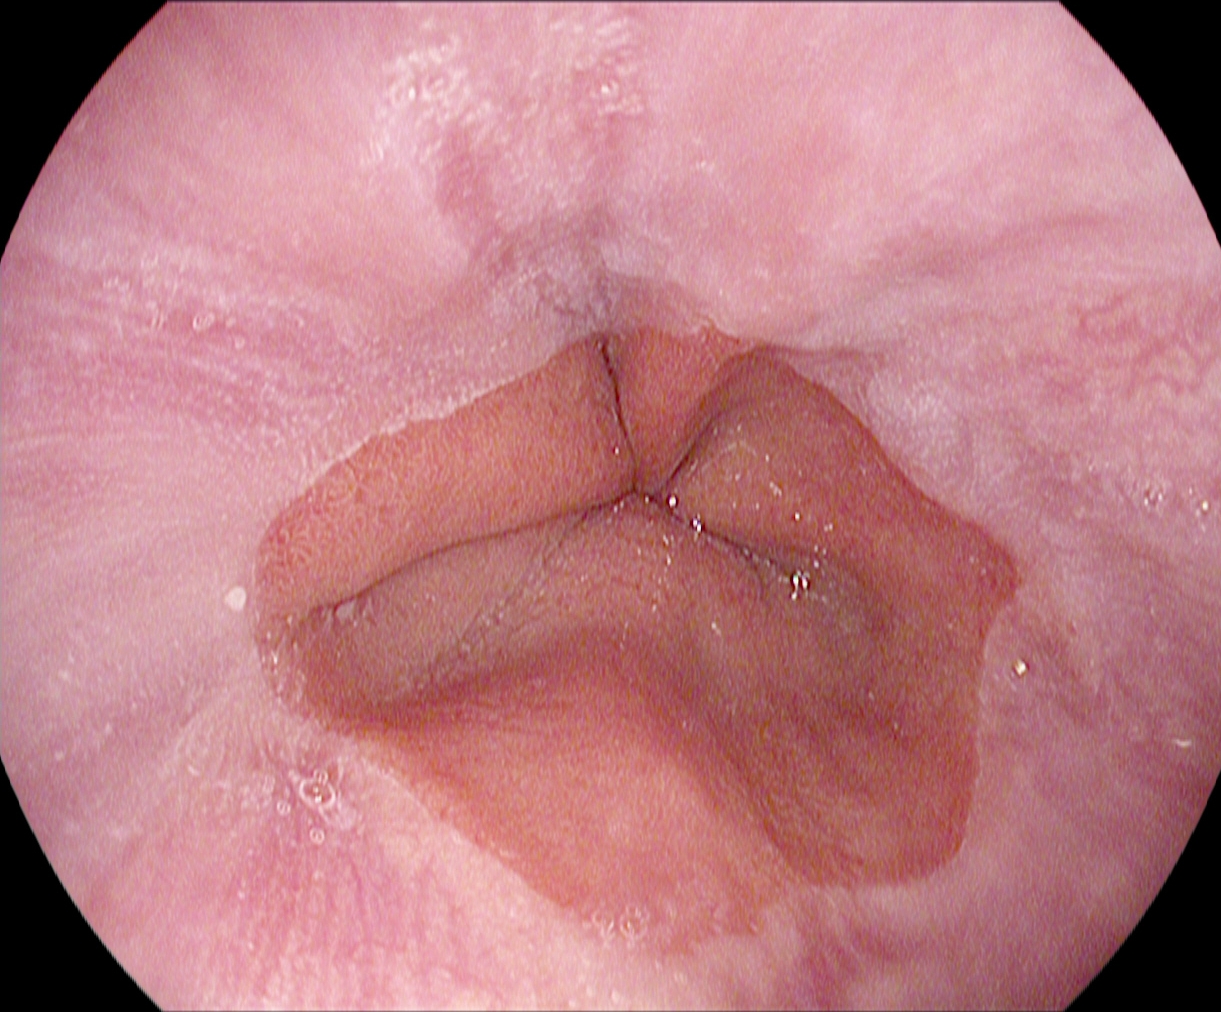This endoscopic image of the upper GI tract shows Z-line (gastroesophageal junction).